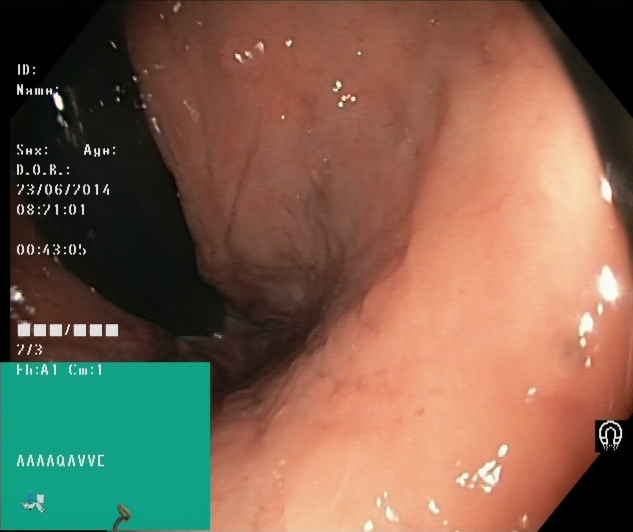Rectum in retroflexion.